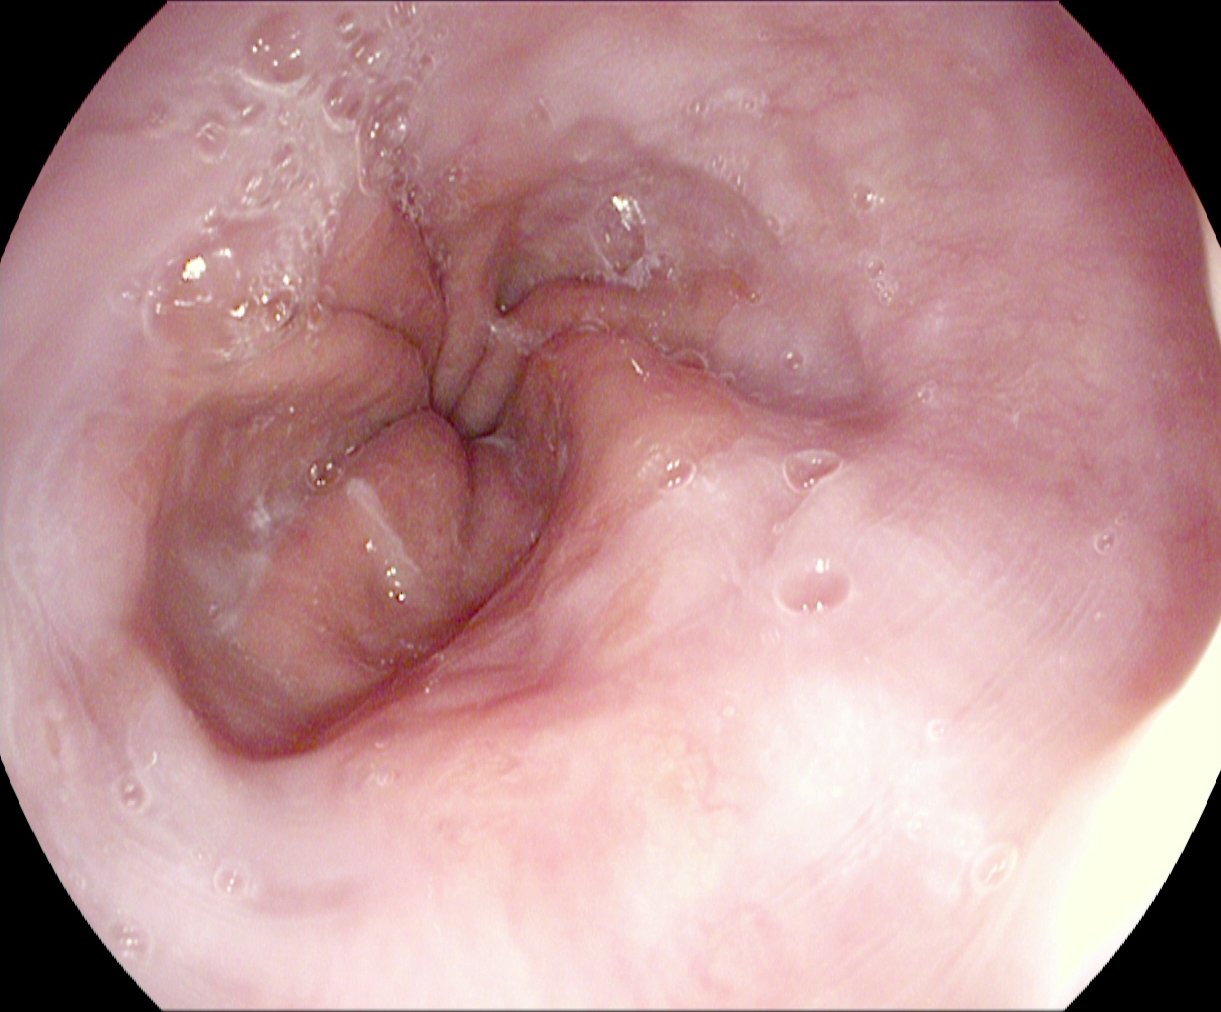Esophagogastroduodenoscopy — Z-line (gastroesophageal junction).